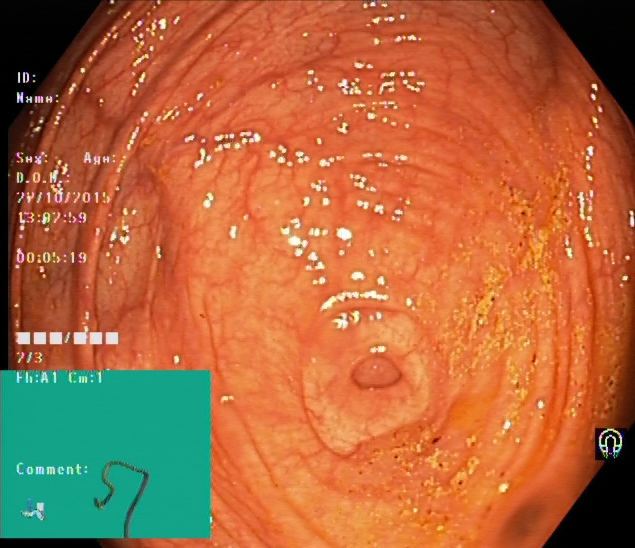Endoscopic frame showing cecum.